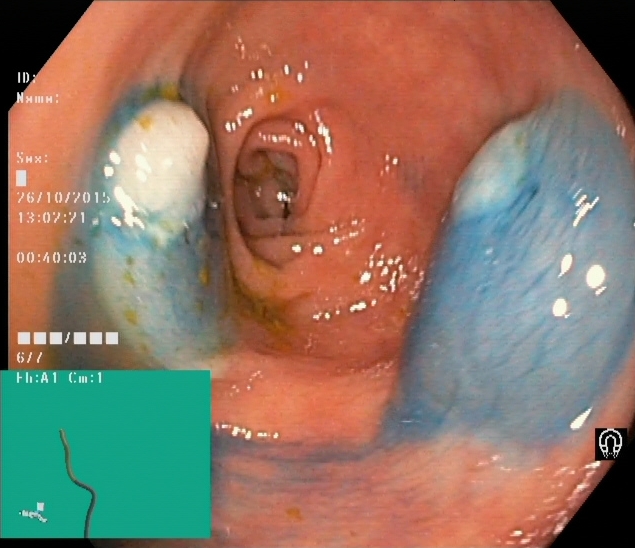Lower gastrointestinal endoscopy. Tract: lower GI tract. Therapeutic intervention. Finding: dyed and lifted polyp (pre-resection).